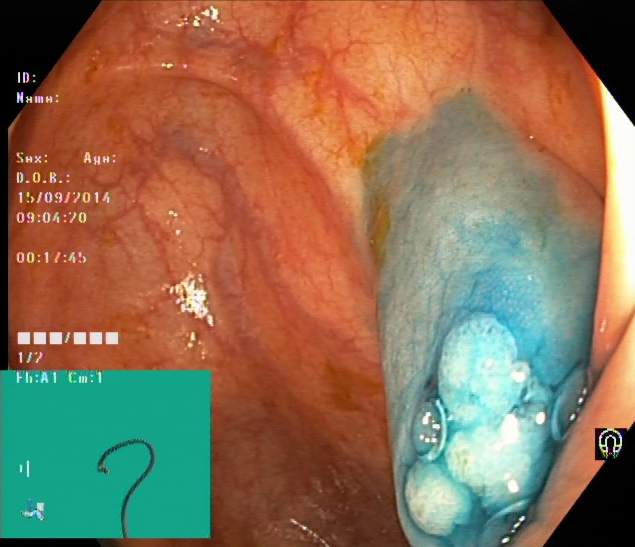Lower-GI endoscopy image showing dyed and lifted polyp (pre-resection).